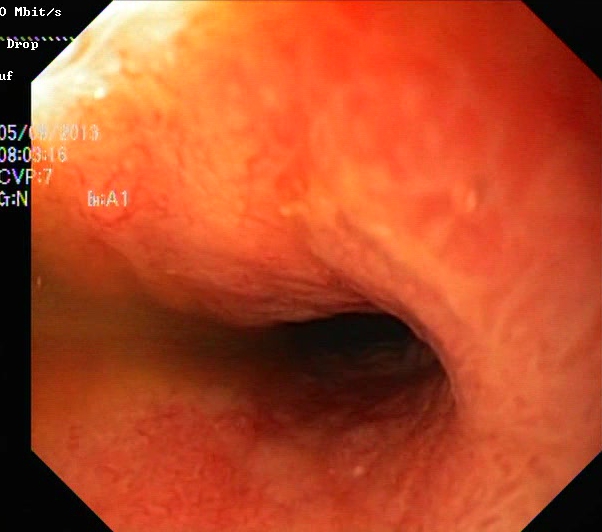Ulcerative colitis, Mayo endoscopic subscore 2.